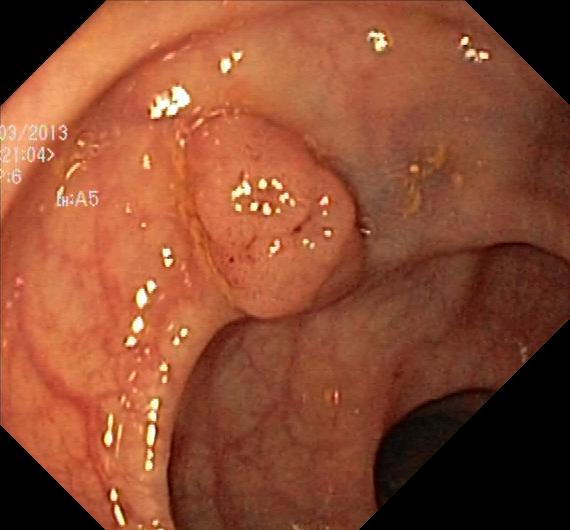Lower gastrointestinal endoscopy. Tract: lower GI tract. Pathological finding. Finding: colorectal polyp(s).